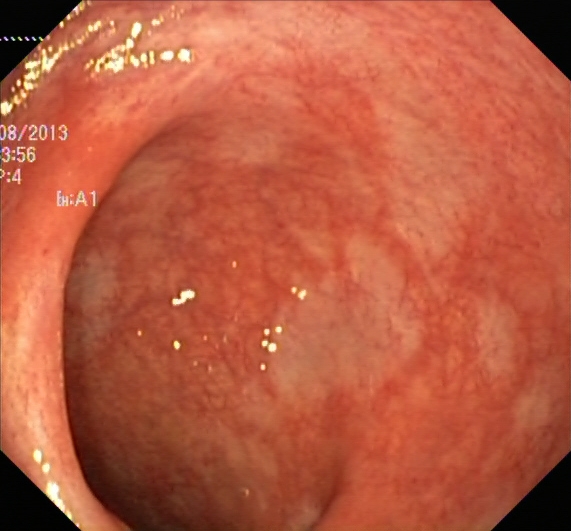modality: lower gastrointestinal endoscopy
category: pathological finding
finding: UC, Mayo endoscopic subscore 1